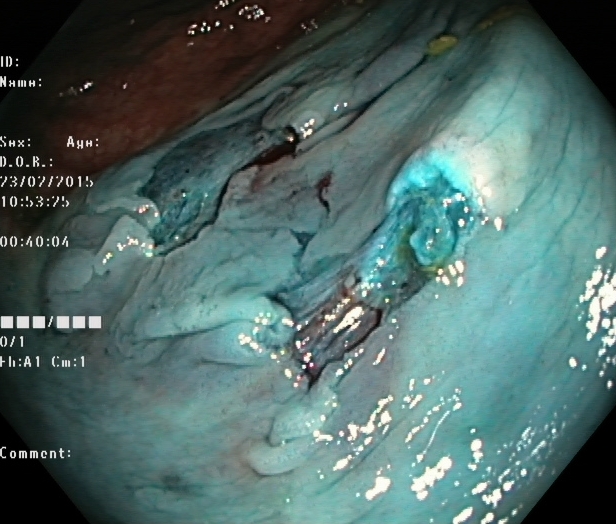Gastrointestinal endoscopy image showing dyed resection margins (post-polypectomy).